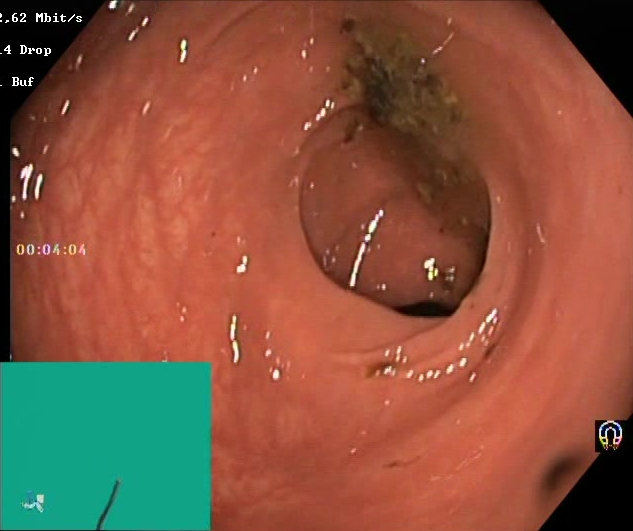GI endoscopy image showing Boston Bowel Preparation Scale score 0–1 (inadequate preparation).